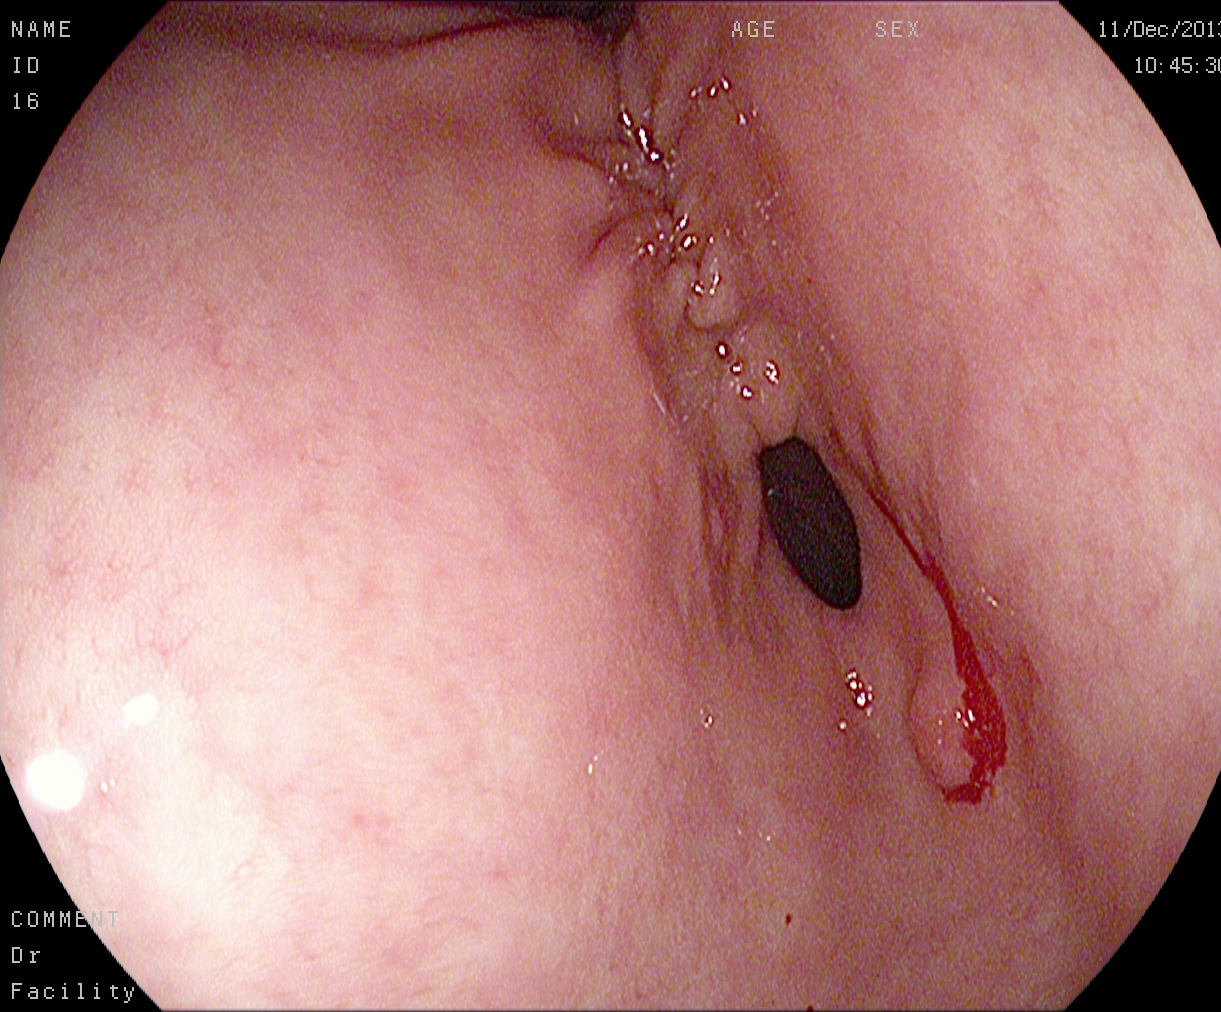Gastroscopy. Anatomical landmark. Finding: pylorus.